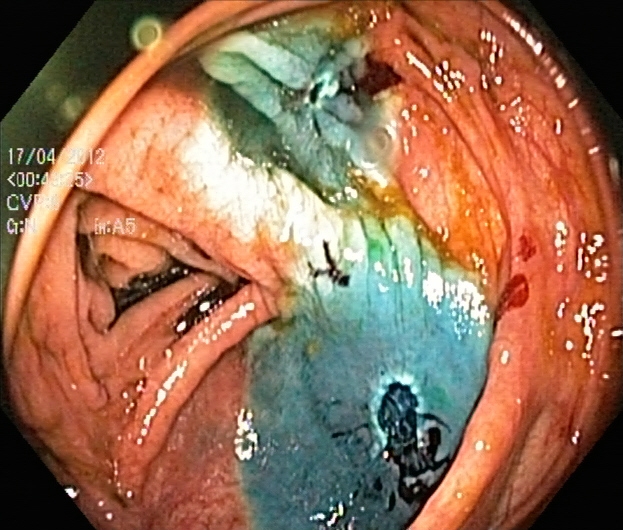This endoscopy frame of the lower GI tract shows dyed resection margins (post-polypectomy).